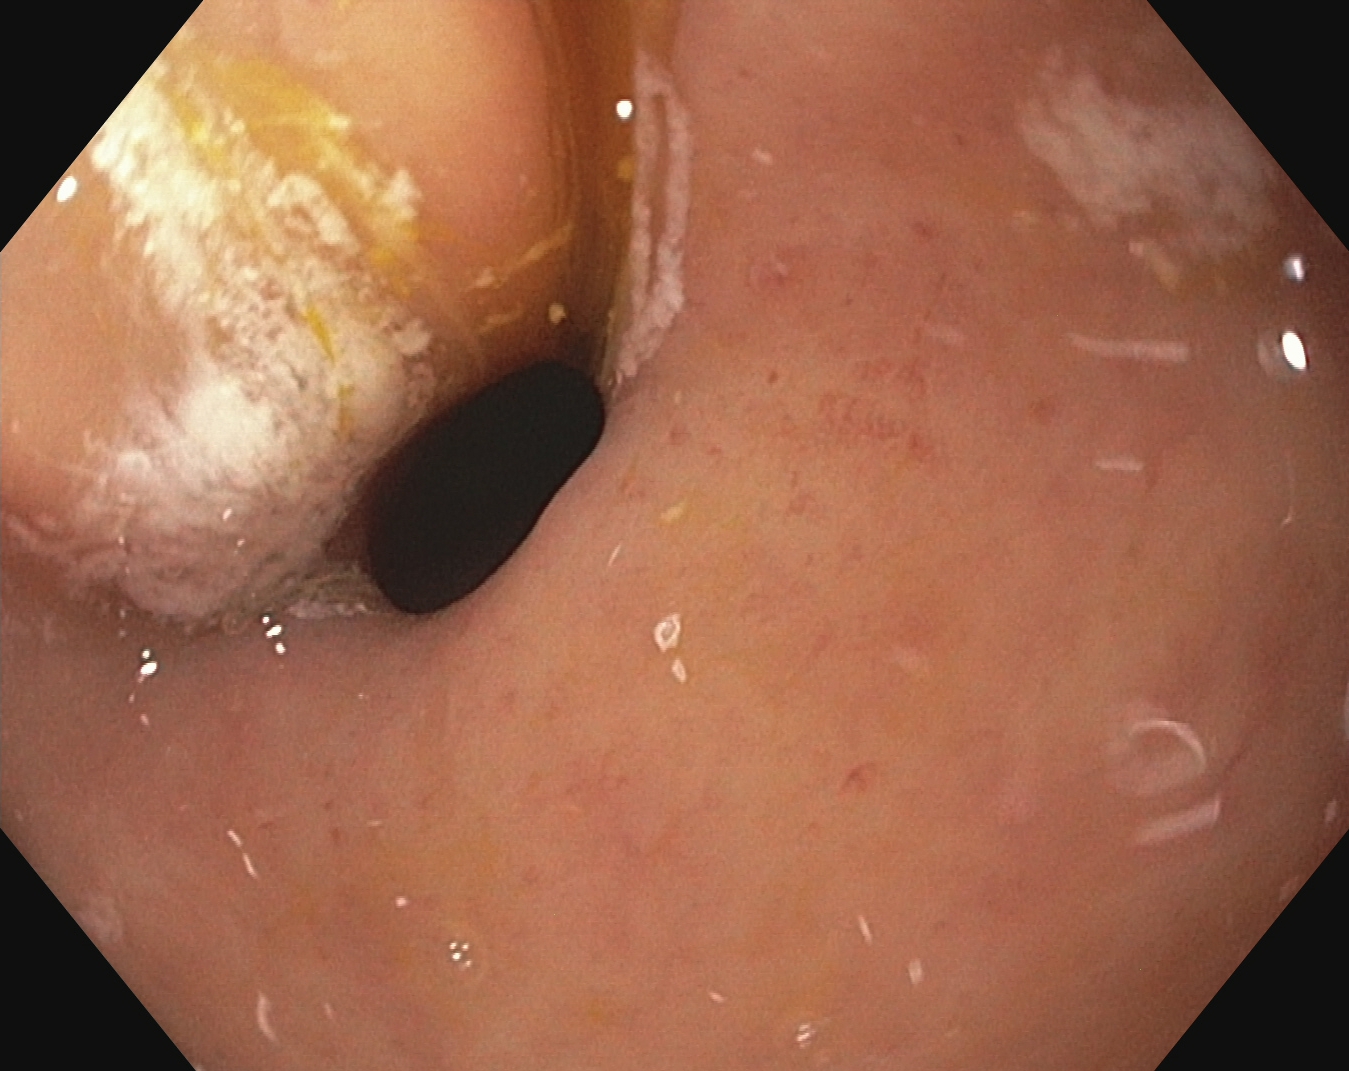modality: EGD; tract: upper GI tract; category: anatomical landmark; finding: pylorus